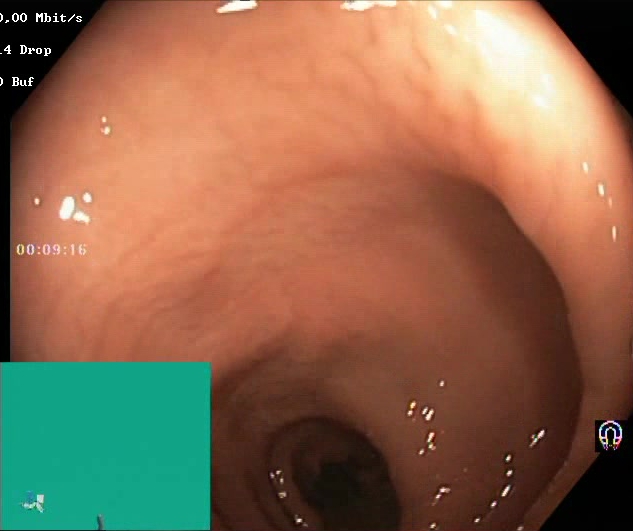PROCEDURE: Lower-GI endoscopy.
FINDINGS: Boston Bowel Preparation Scale score 2–3 (adequate preparation).